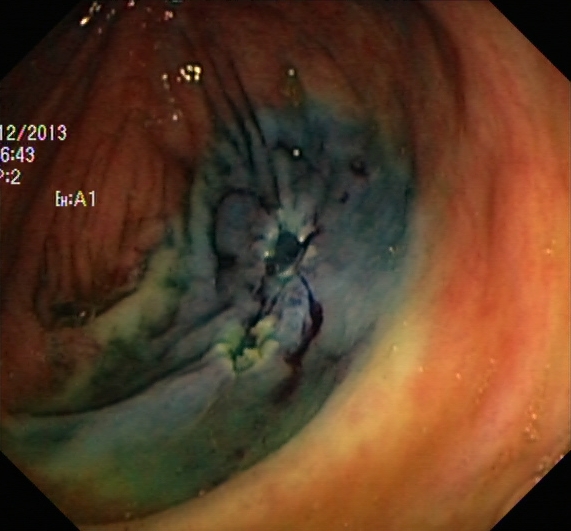Dyed resection margins (post-polypectomy).